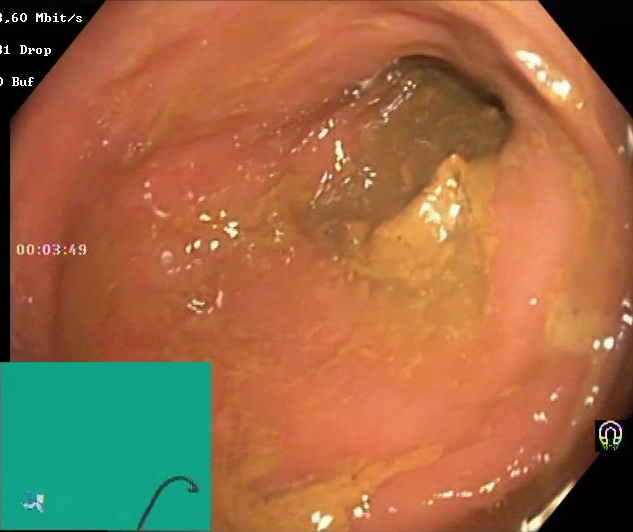modality: colonoscopy | tract: lower GI tract | category: mucosal-view quality | finding: Boston Bowel Preparation Scale score 0–1 (inadequate preparation)